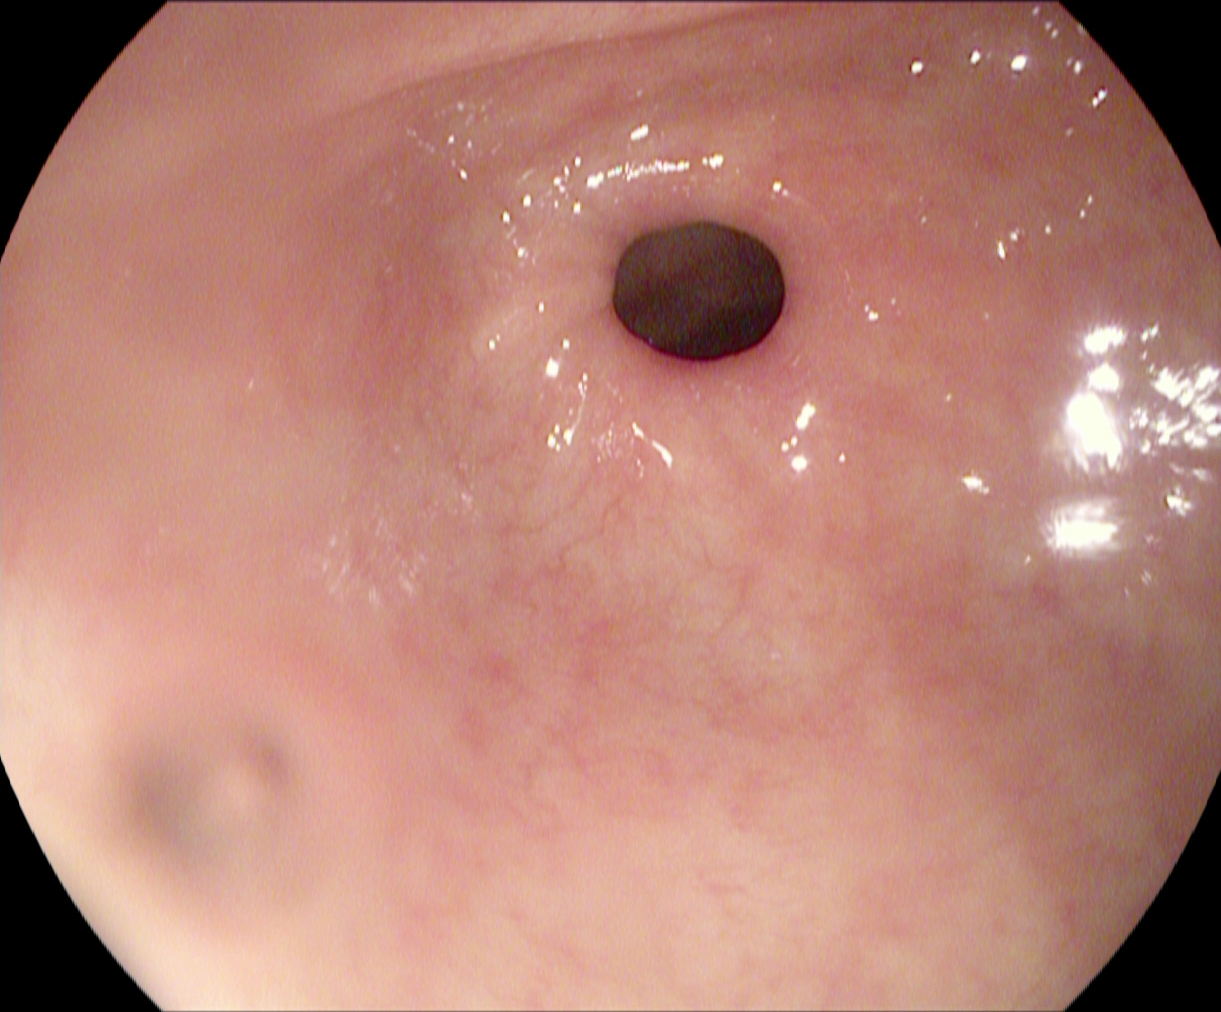{"modality": "esophagogastroduodenoscopy", "finding": "pylorus"}